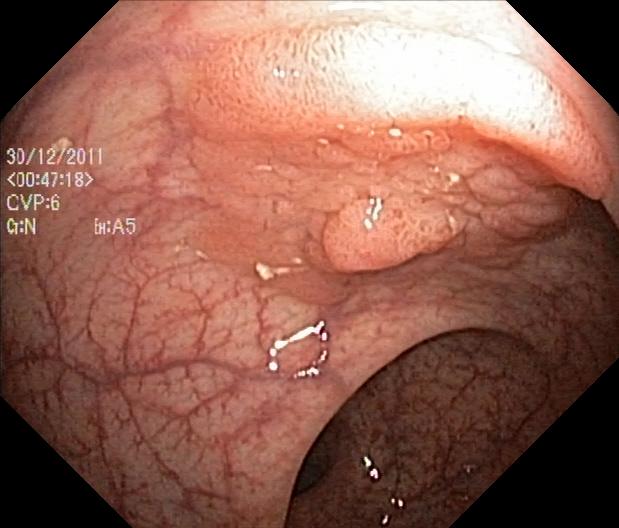PROCEDURE: Colonoscopy.
CATEGORY: Pathological finding.
FINDINGS: Colorectal polyp(s).